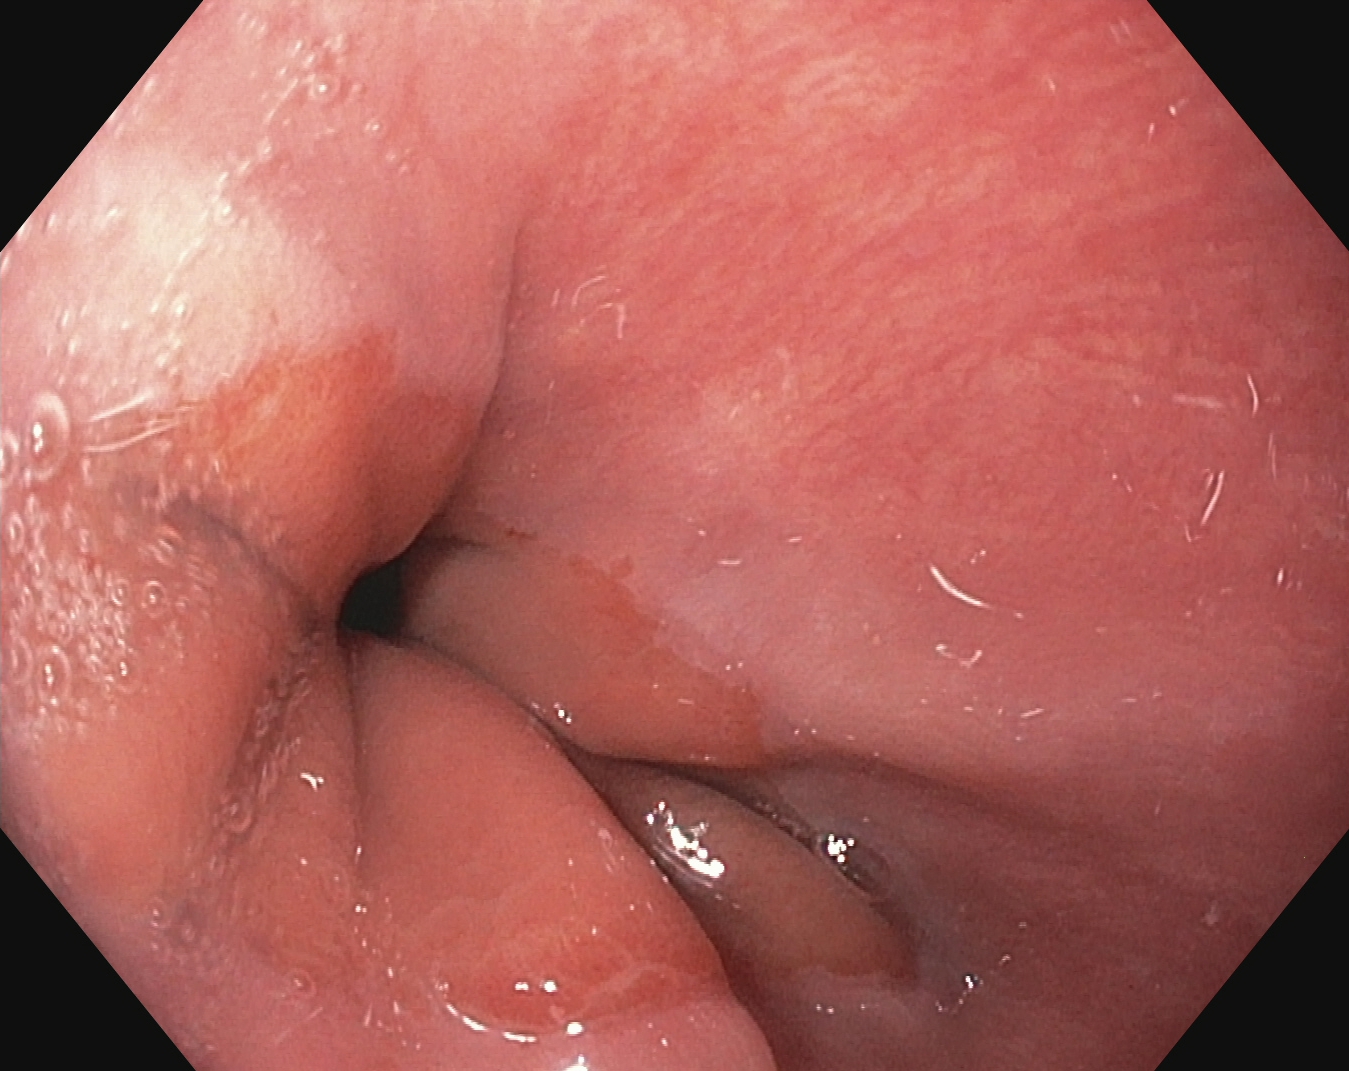Esophagogastroduodenoscopy — Z-line (gastroesophageal junction).